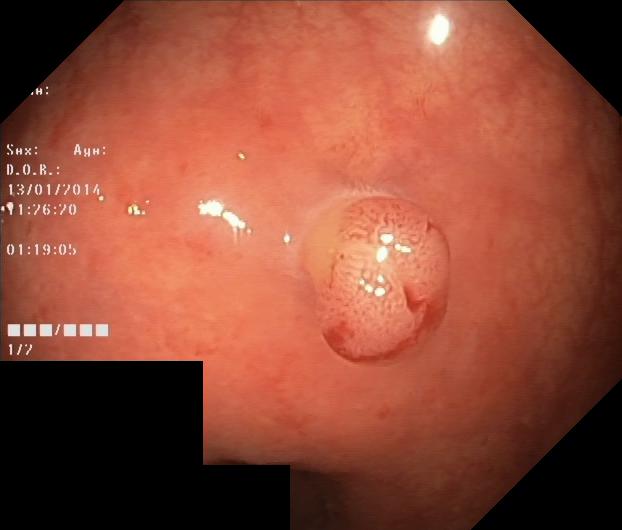modality: lower gastrointestinal endoscopy; finding: colorectal polyp(s)